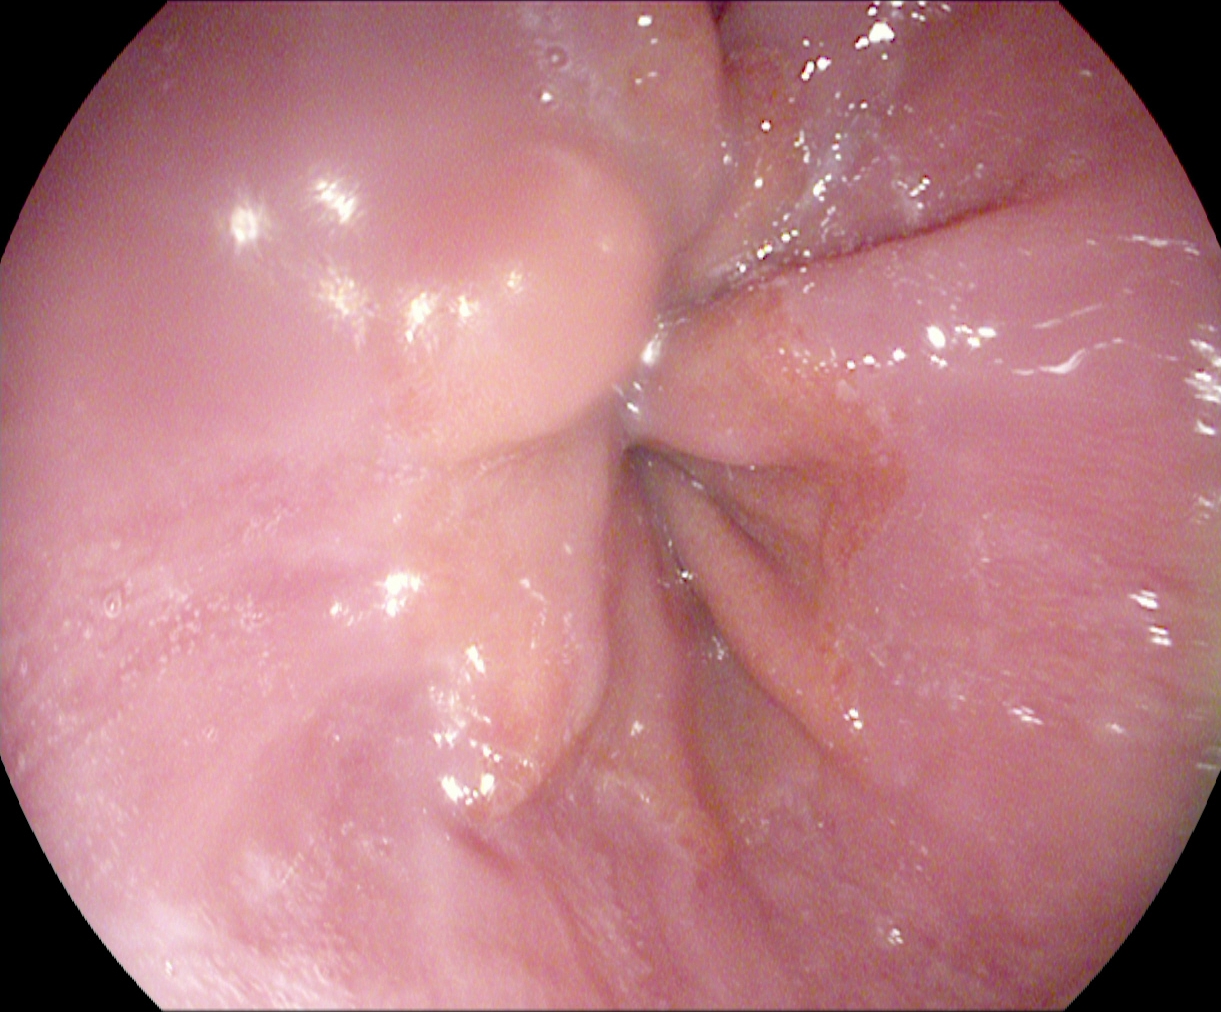Z-line (gastroesophageal junction).